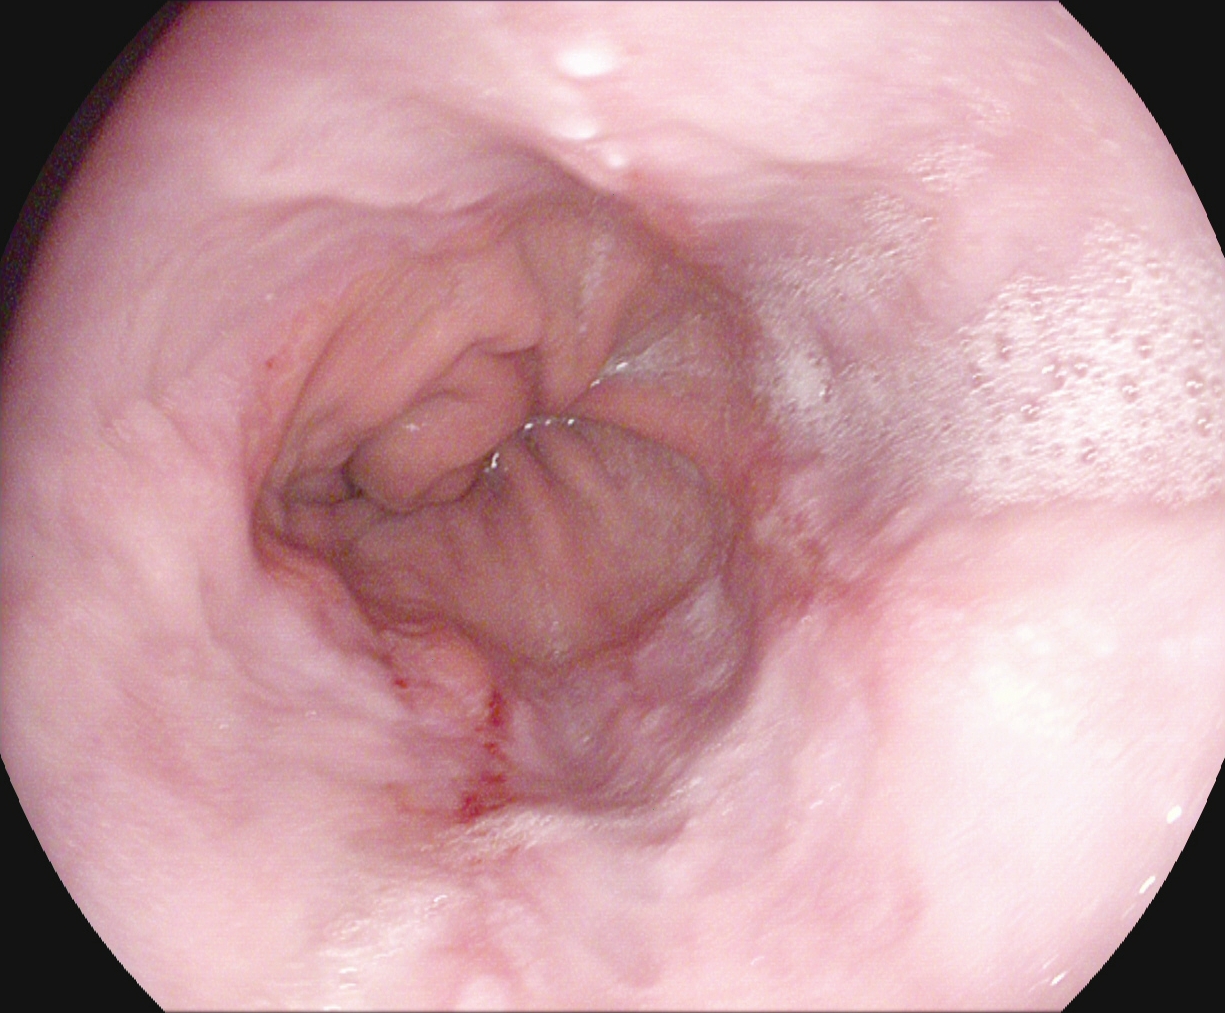This endoscopic image shows reflux esophagitis, Los Angeles grade A.